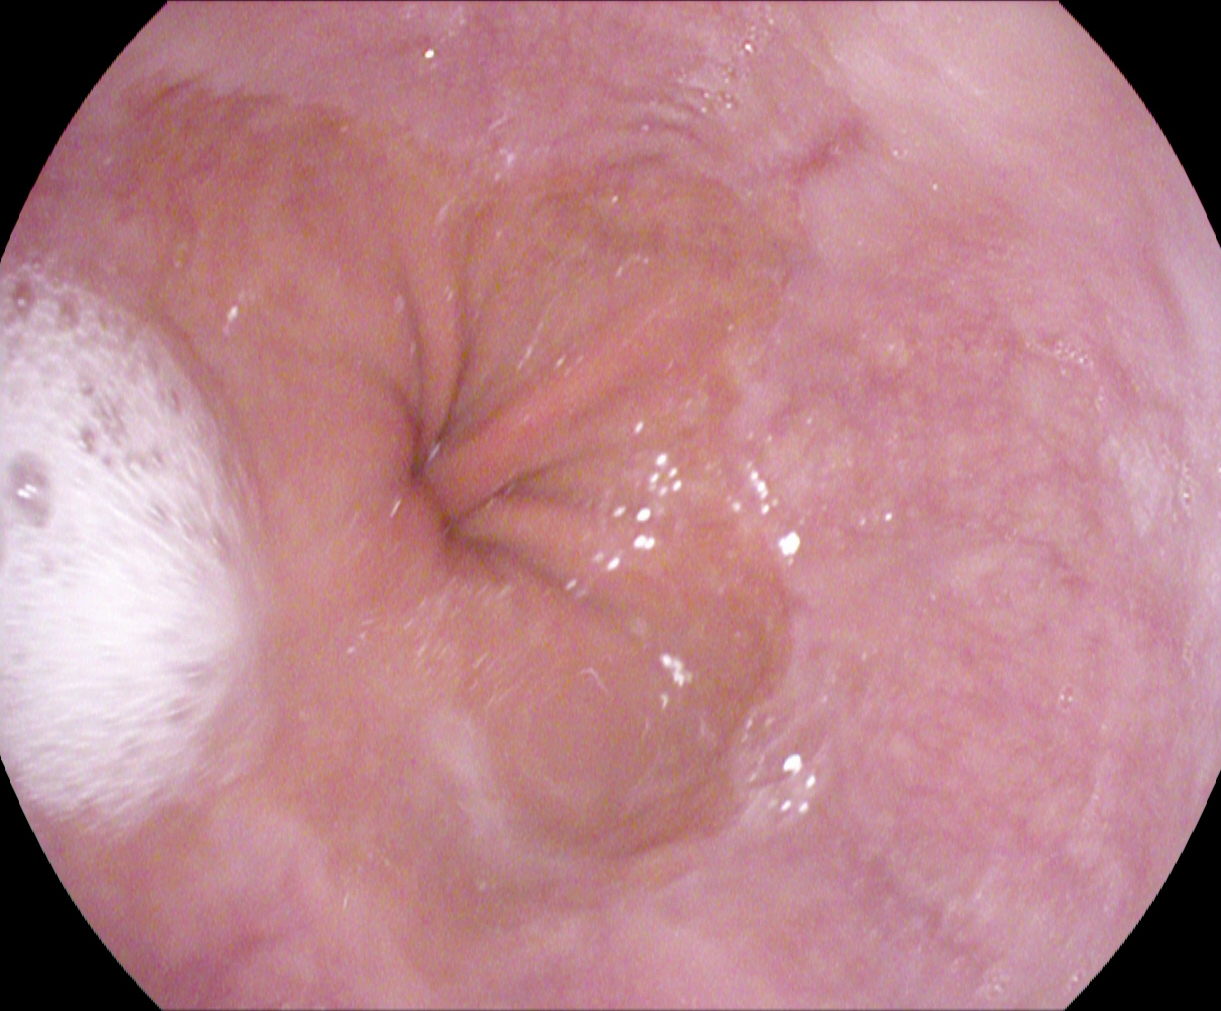Endoscopic image of the upper GI tract showing reflux esophagitis, LA grade A.